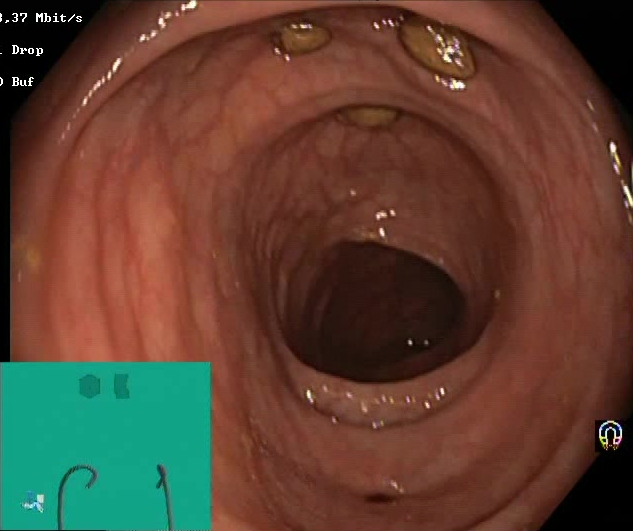Colonoscopy image of the lower GI tract showing impacted stool.